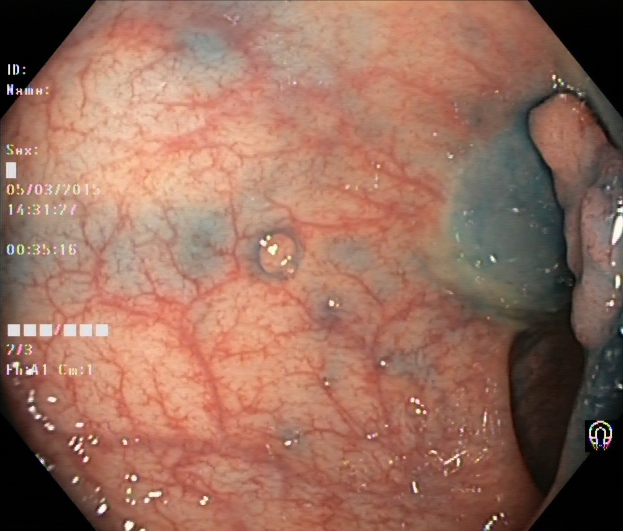{"modality": "colonoscopy", "tract": "lower GI tract", "finding": "dyed and lifted polyp (pre-resection)"}